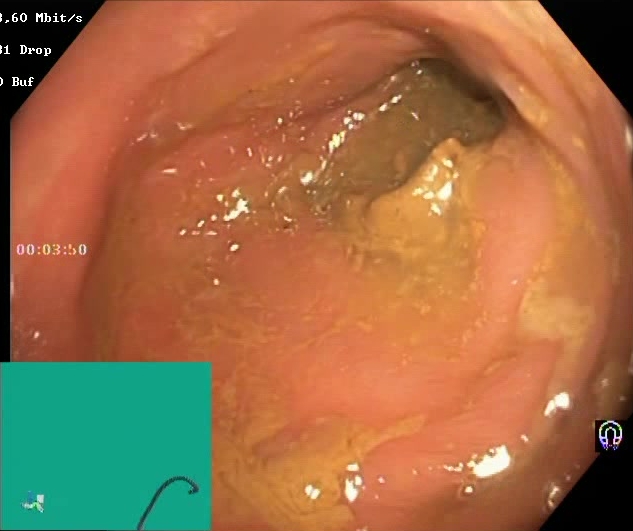{"modality": "lower gastrointestinal endoscopy", "finding": "BBPS score 0\u20131 (inadequate preparation)"}